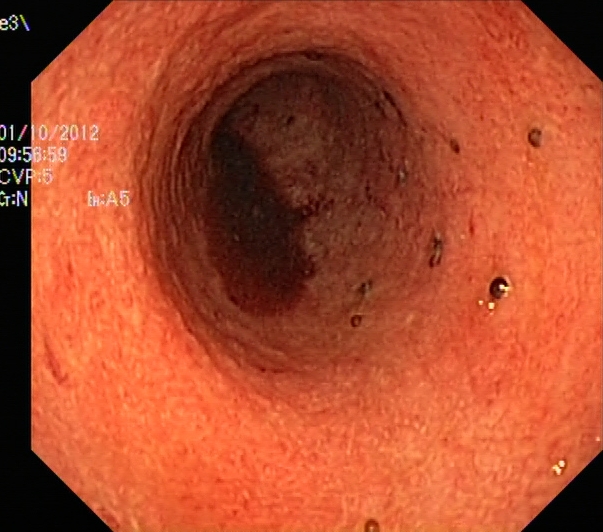Lower gastrointestinal endoscopy — ulcerative colitis, Mayo endoscopic subscore 2.